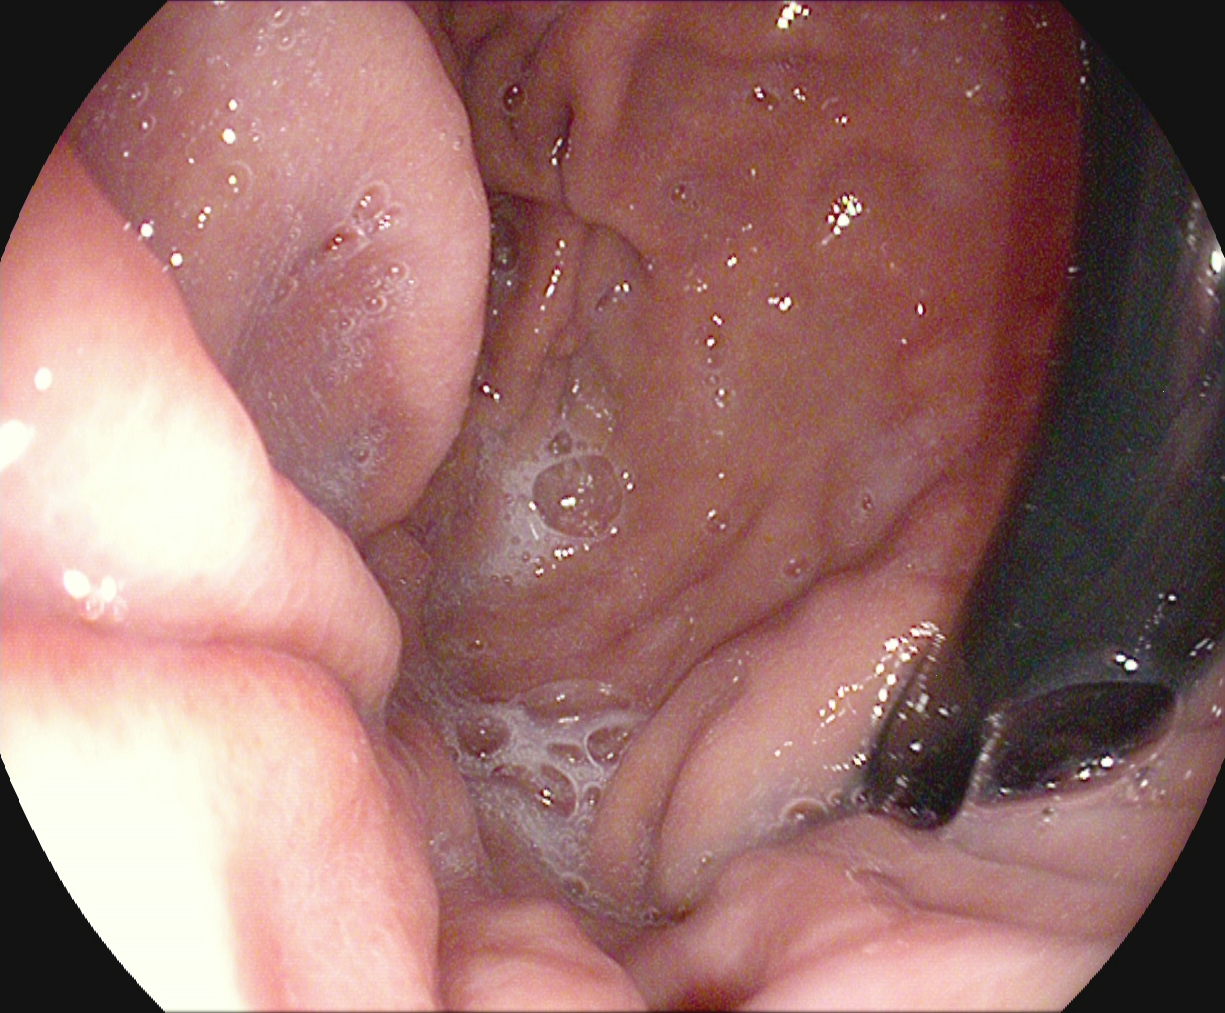modality: gastroscopy; category: anatomical landmark; finding: stomach in retroflexion